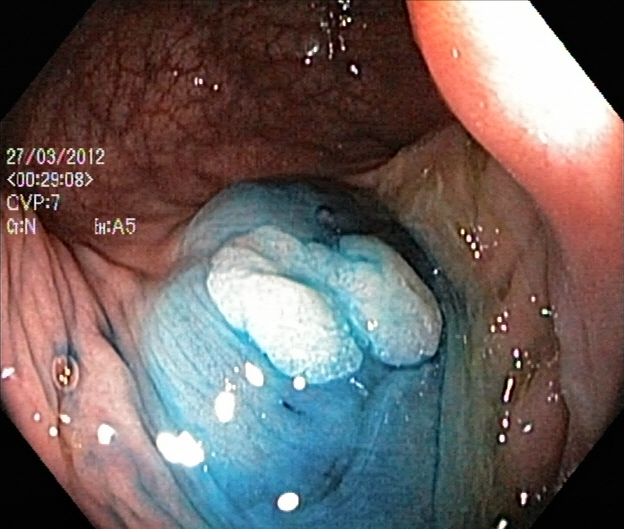Dyed and lifted polyp (pre-resection).